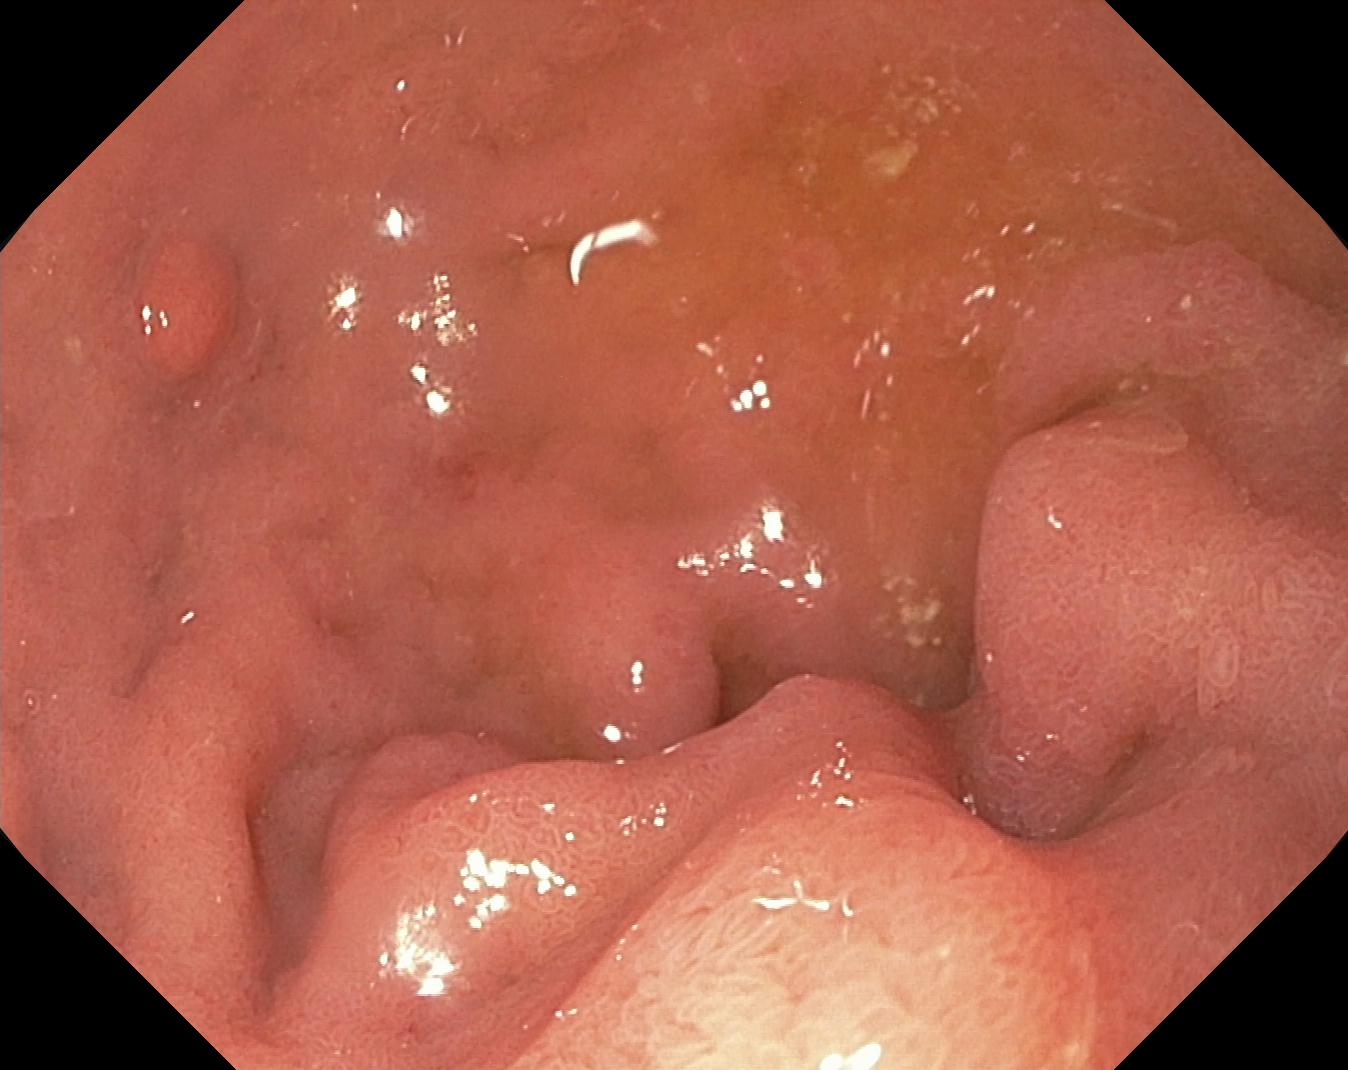PROCEDURE: Colonoscopy.
CATEGORY: Pathological finding.
FINDINGS: Colorectal polyp(s).